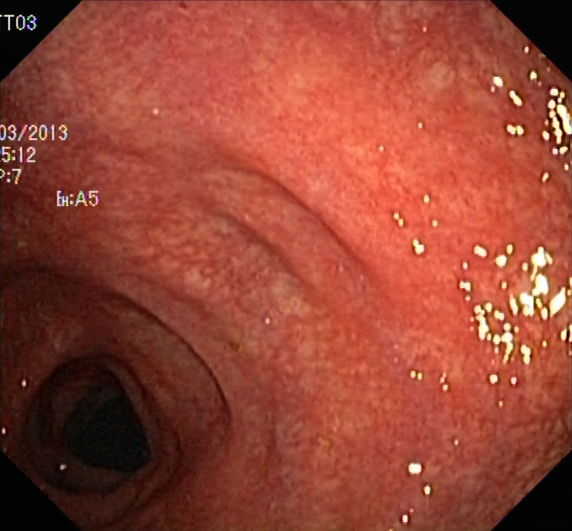Ulcerative colitis, Mayo endoscopic subscore 1.